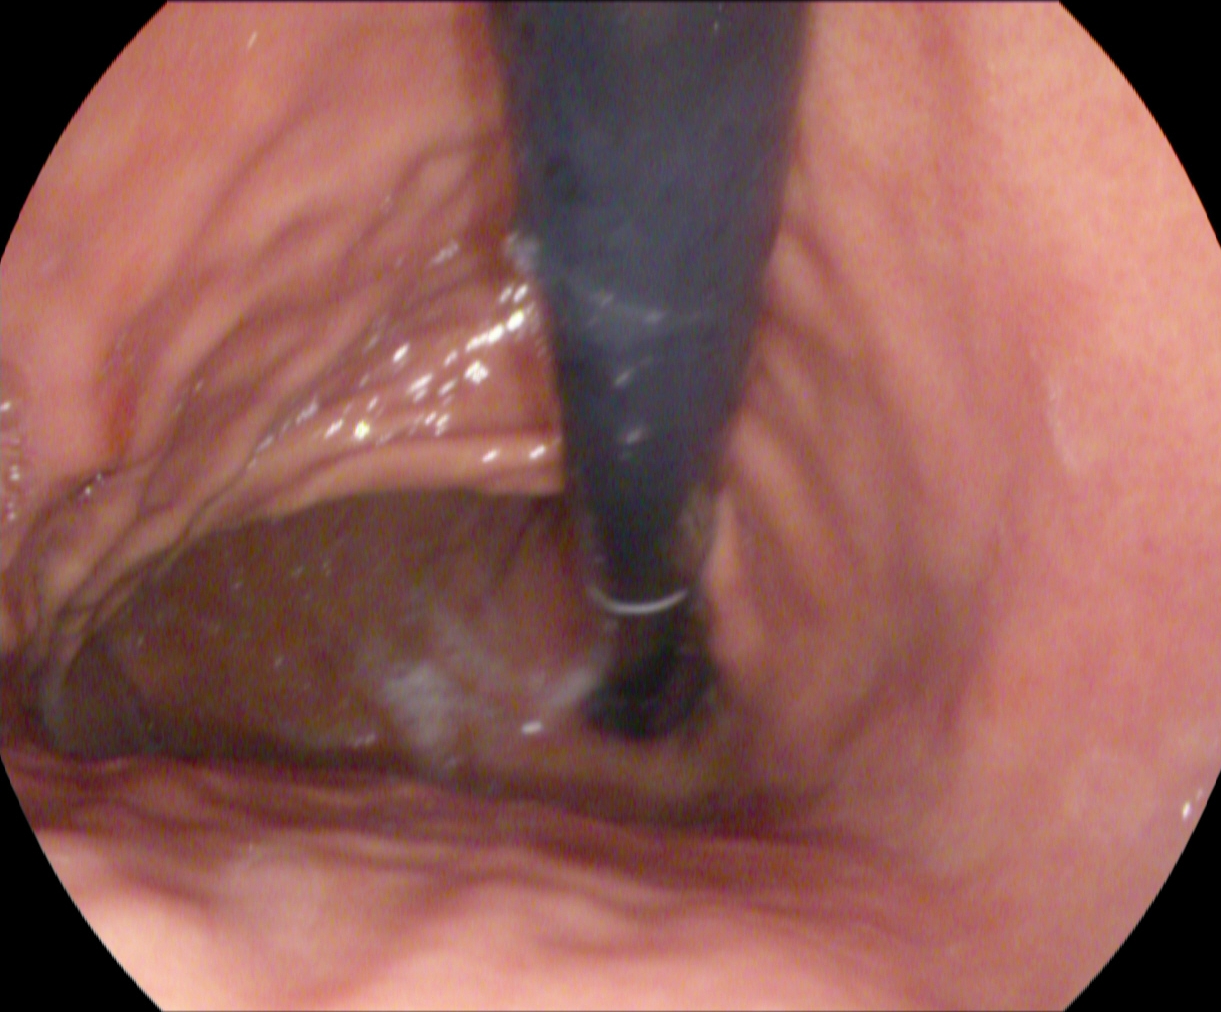This endoscopy frame shows stomach in retroflexion.